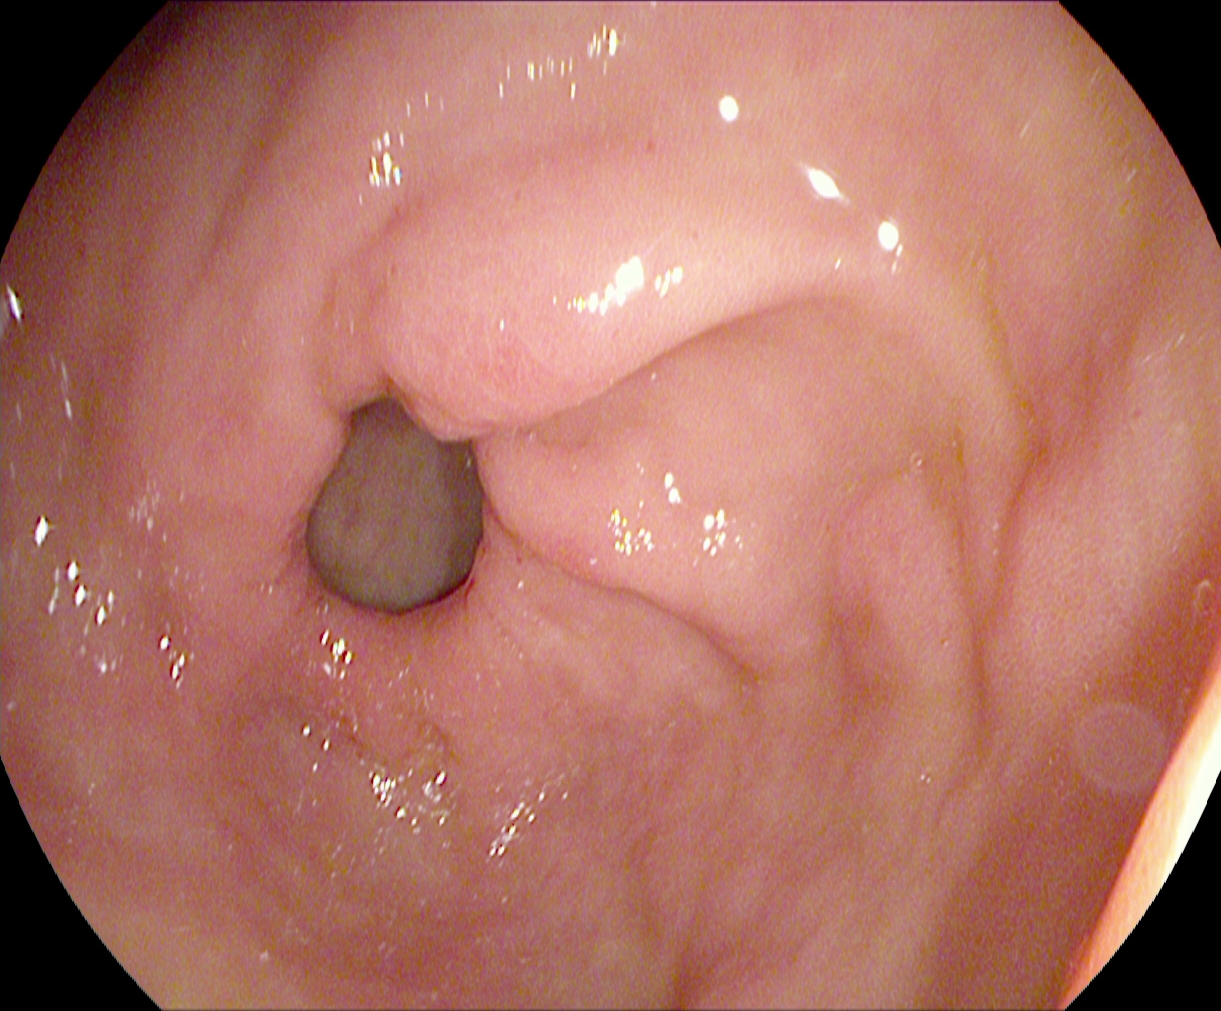Pylorus.